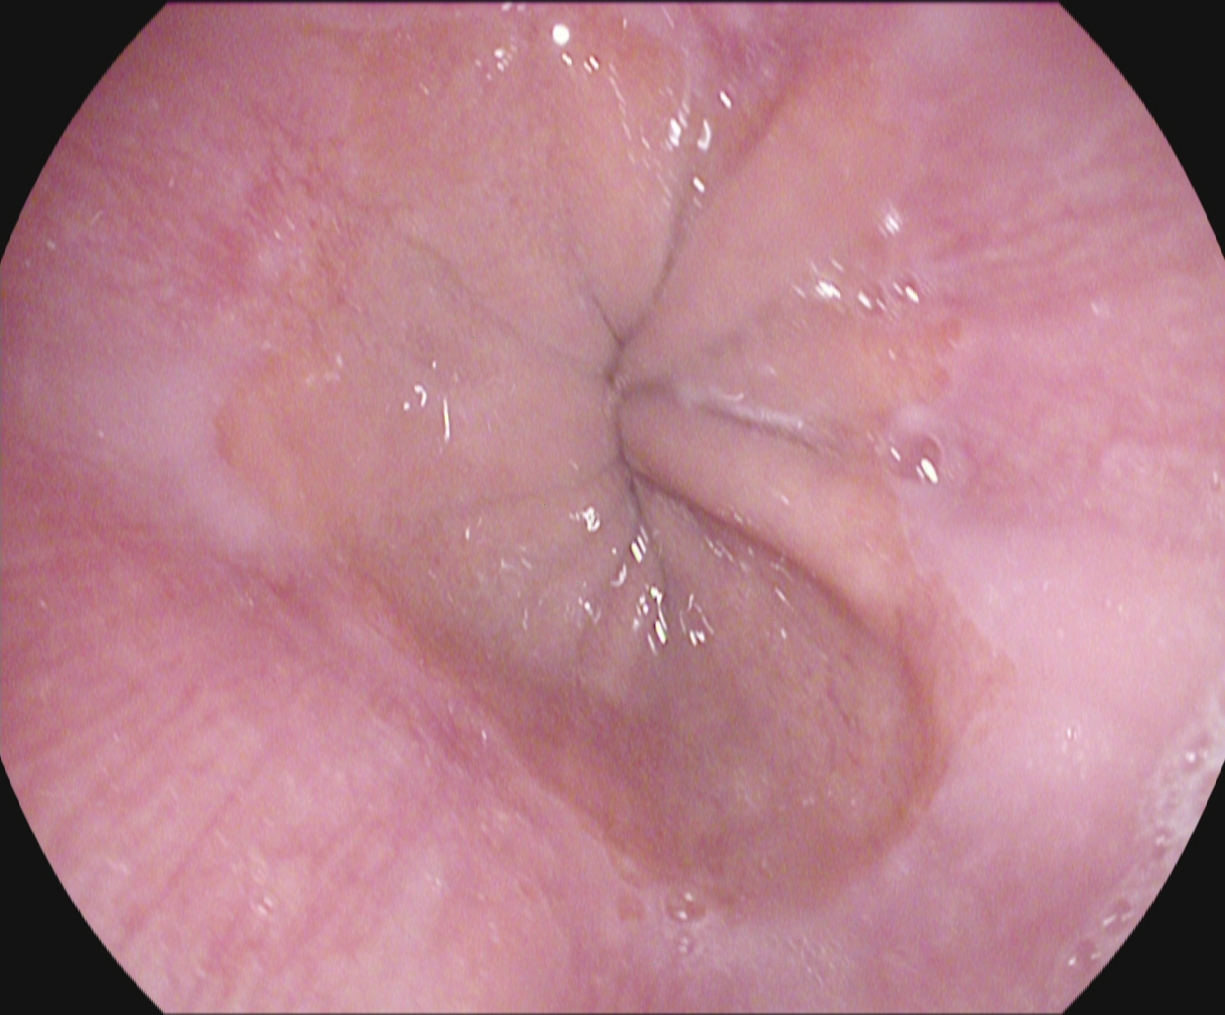modality: upper-GI endoscopy | finding: Z-line (gastroesophageal junction)